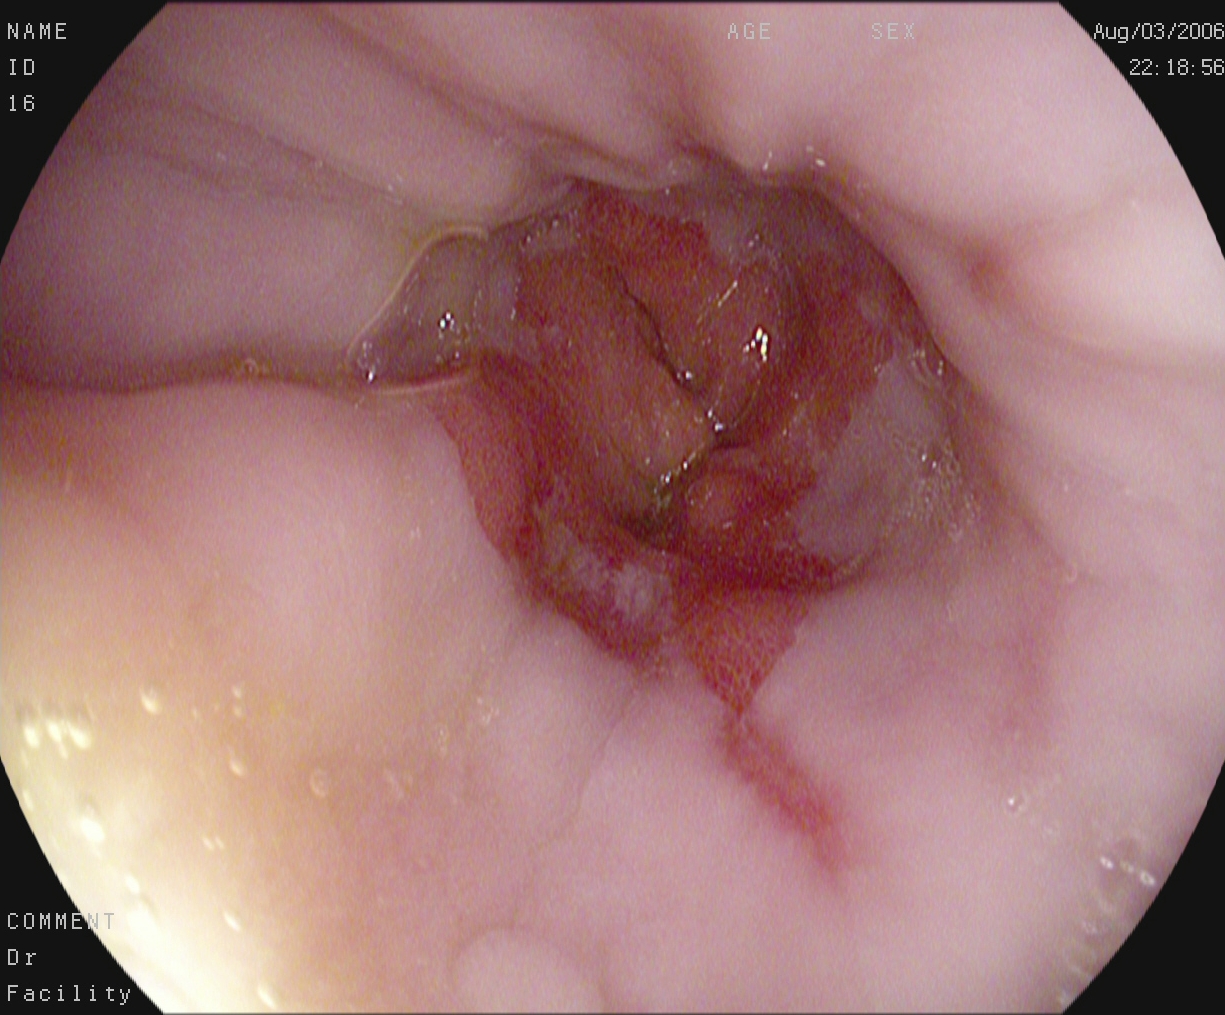Reflux esophagitis, LA grade A.